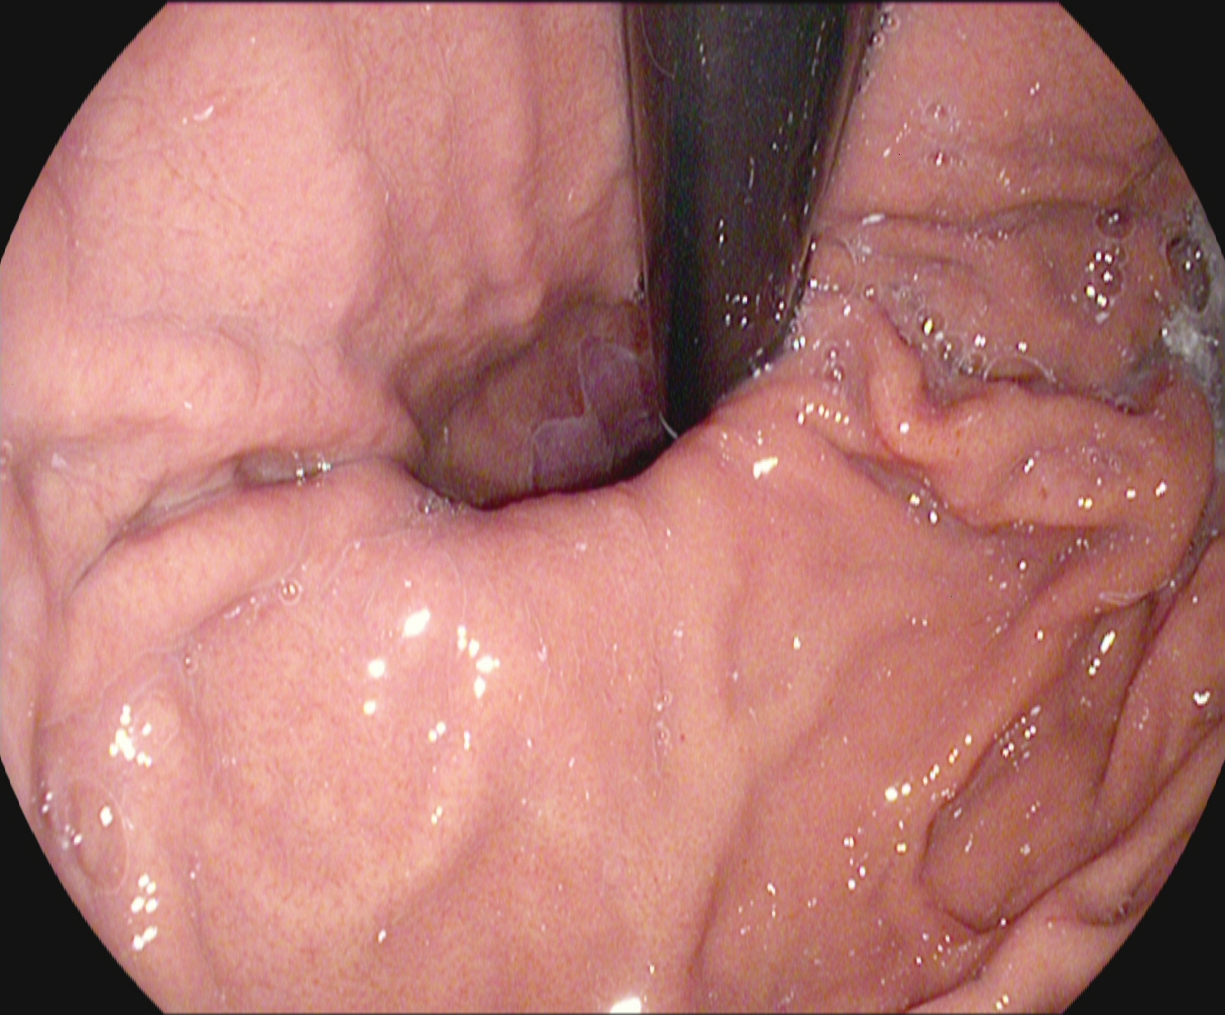Stomach in retroflexion.